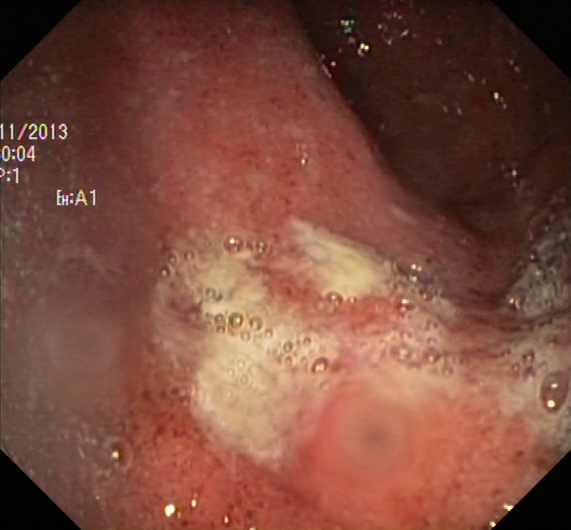Lower-GI endoscopy — ulcerative colitis, Mayo endoscopic subscore 2.